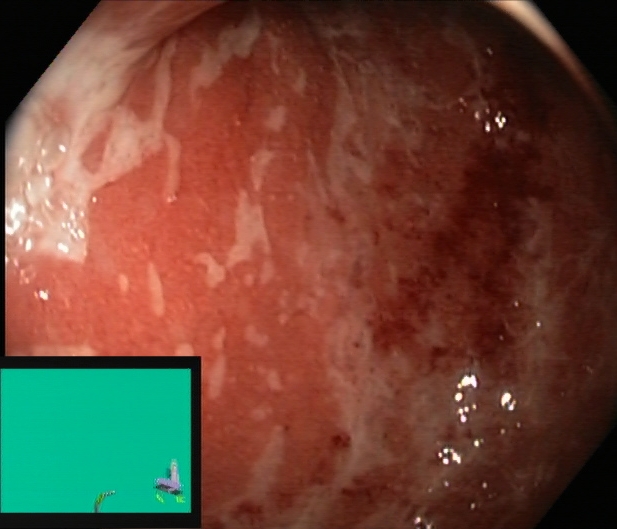Ulcerative colitis, Mayo endoscopic subscore 2.